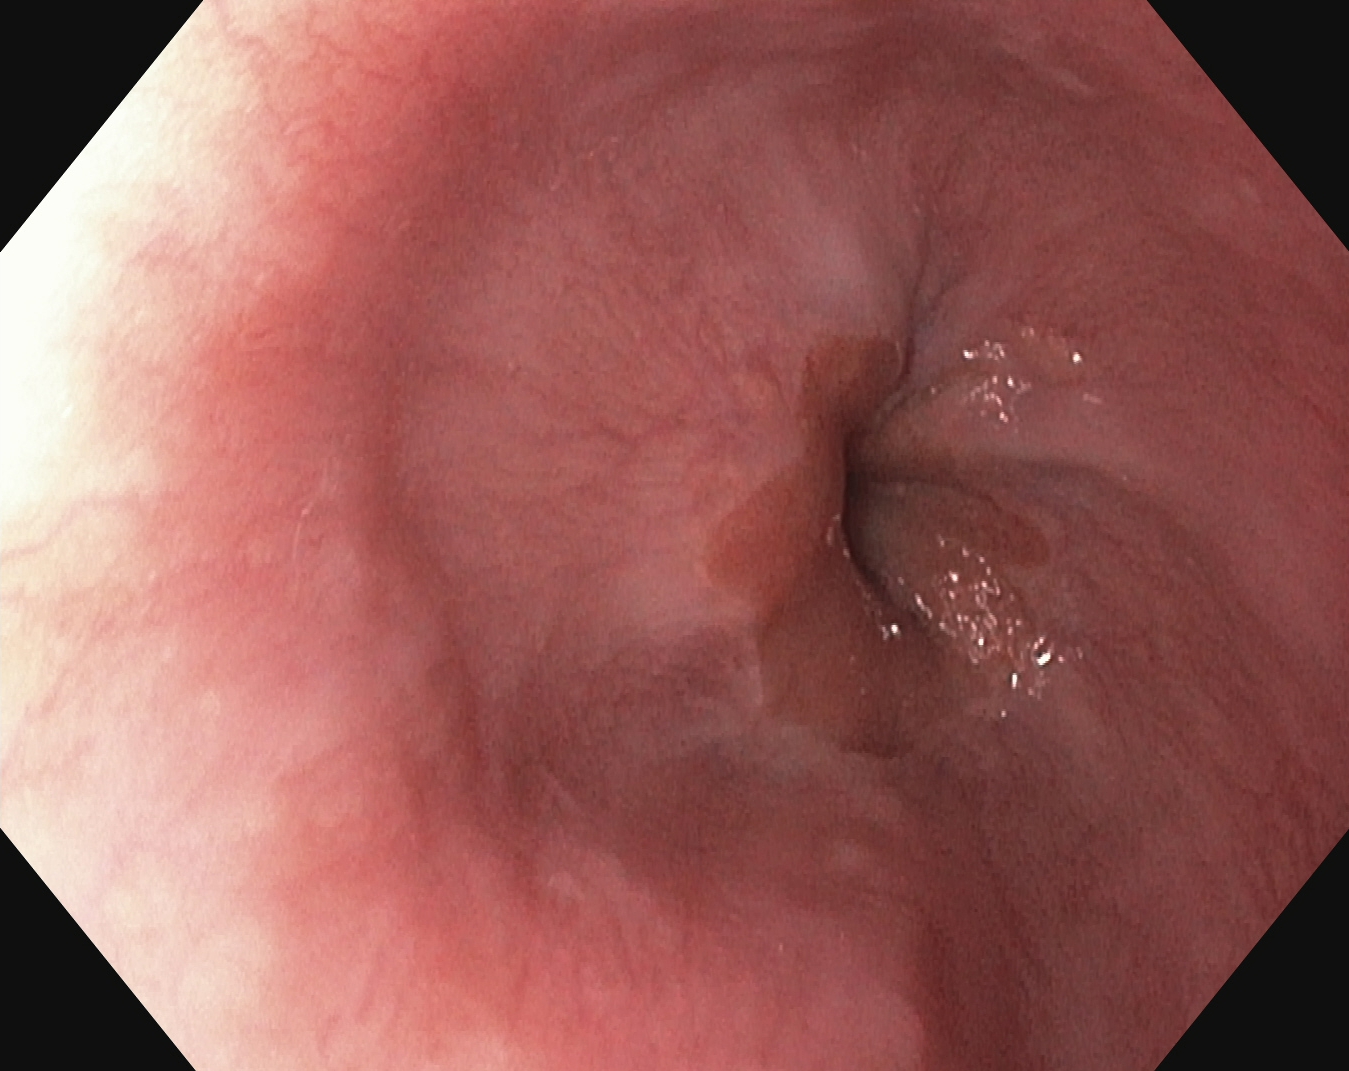{"modality": "gastroscopy", "tract": "upper GI tract", "finding": "Z-line (gastroesophageal junction)"}